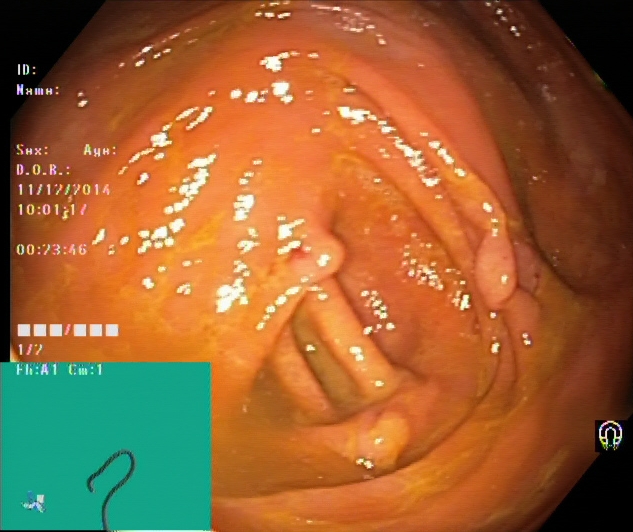Lower gastrointestinal endoscopy. Tract: lower GI tract. Finding: cecum.